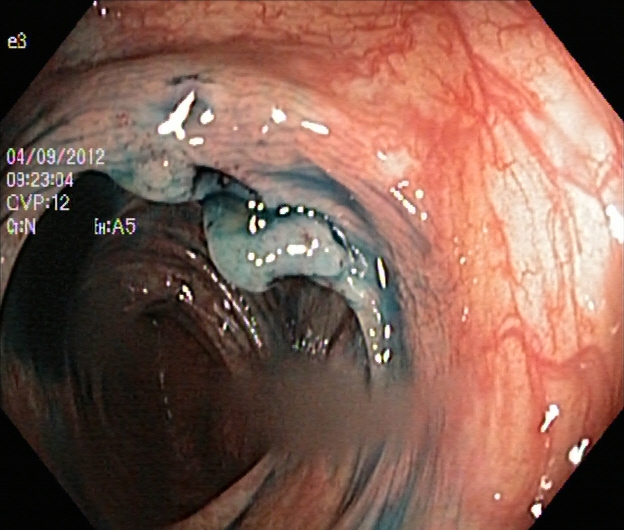modality: lower gastrointestinal endoscopy | category: therapeutic intervention | finding: dyed and lifted polyp (pre-resection)